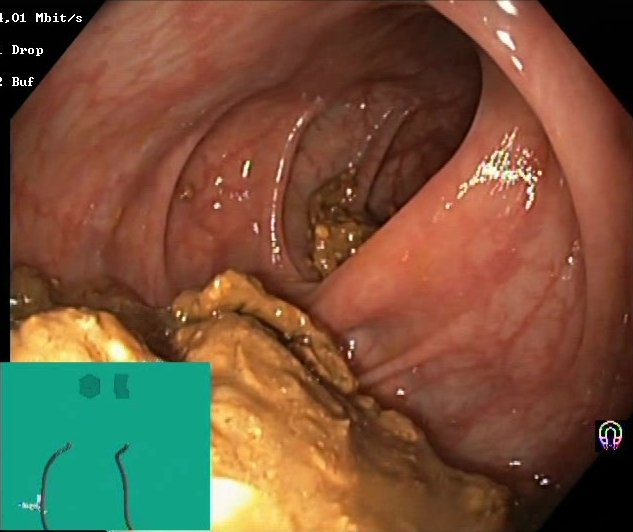Lower-GI endoscopy. Tract: lower GI tract. Finding: BBPS score 0–1 (inadequate preparation).